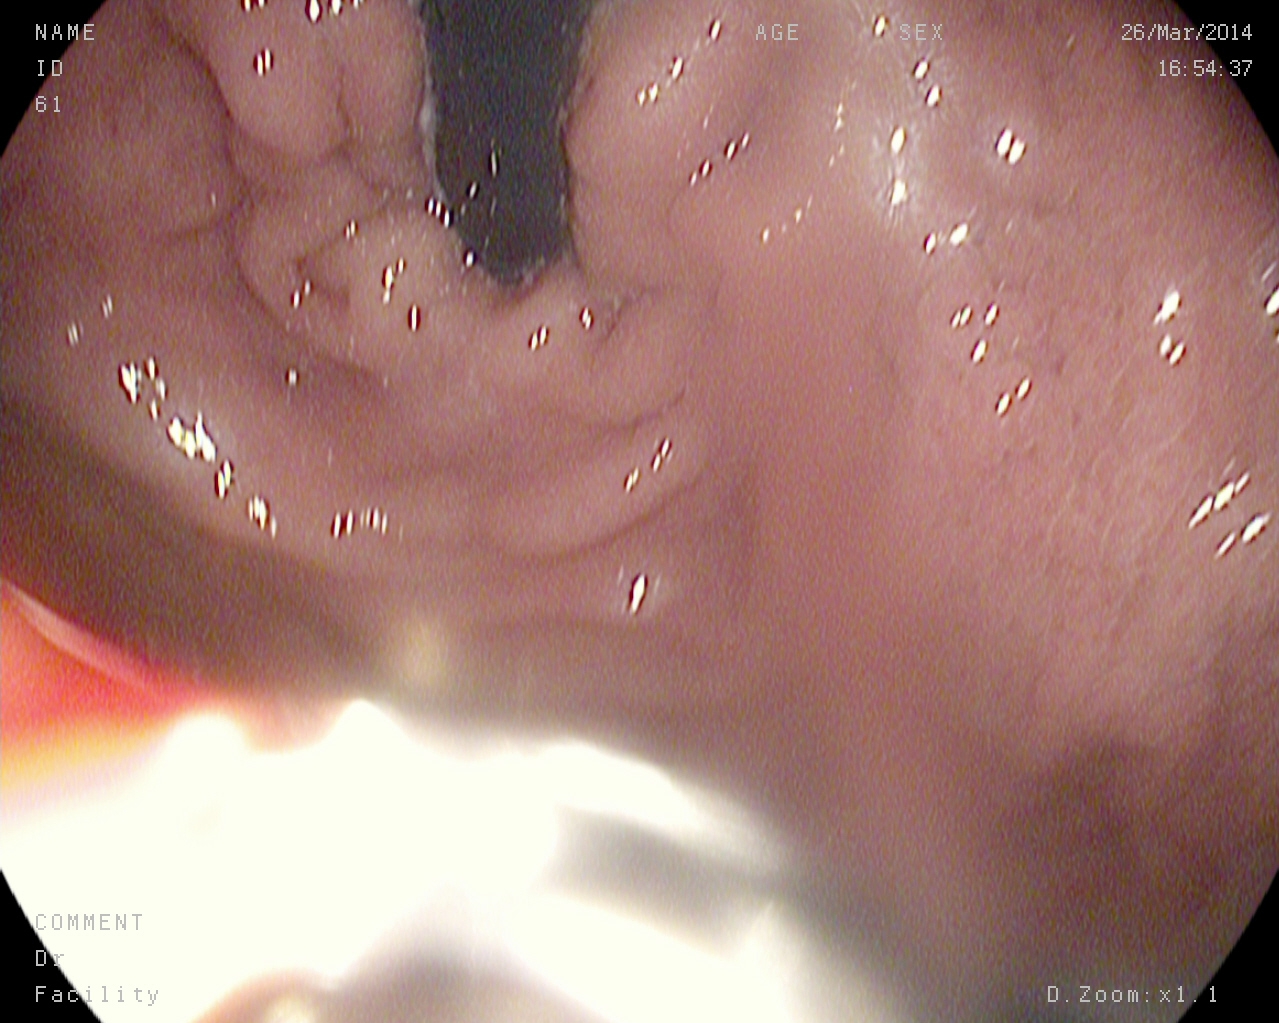This endoscopic image of the upper GI tract shows stomach in retroflexion.